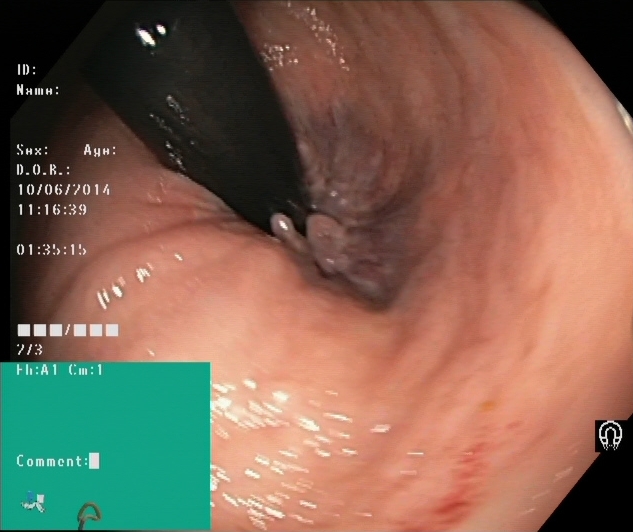Endoscopic image showing rectum in retroflexion.